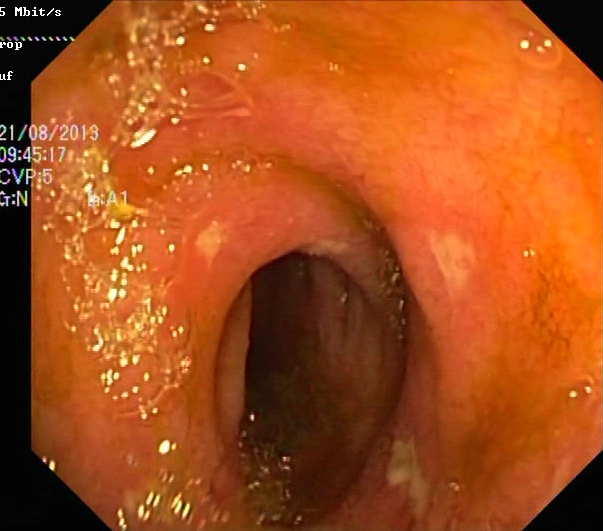{"modality": "colonoscopy", "tract": "lower GI tract", "finding": "ulcerative colitis, Mayo endoscopic subscore 2"}